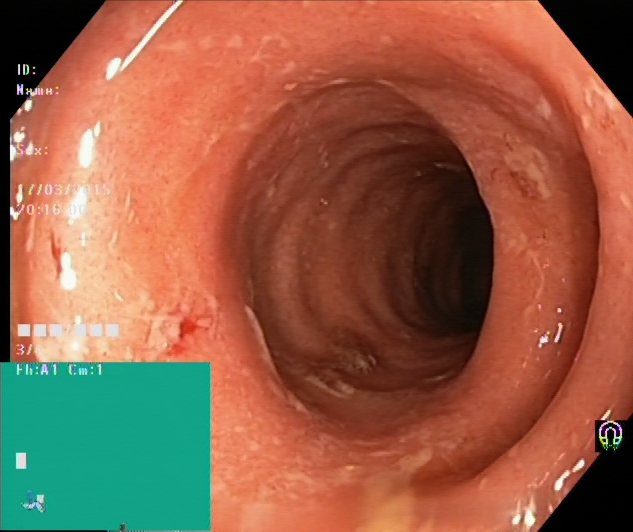This endoscopy frame shows ulcerative colitis, Mayo endoscopic subscore 2.